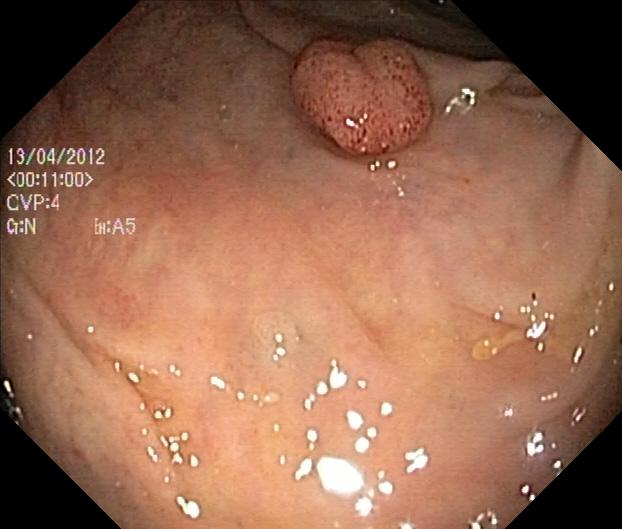This endoscopic image shows colorectal polyp(s).